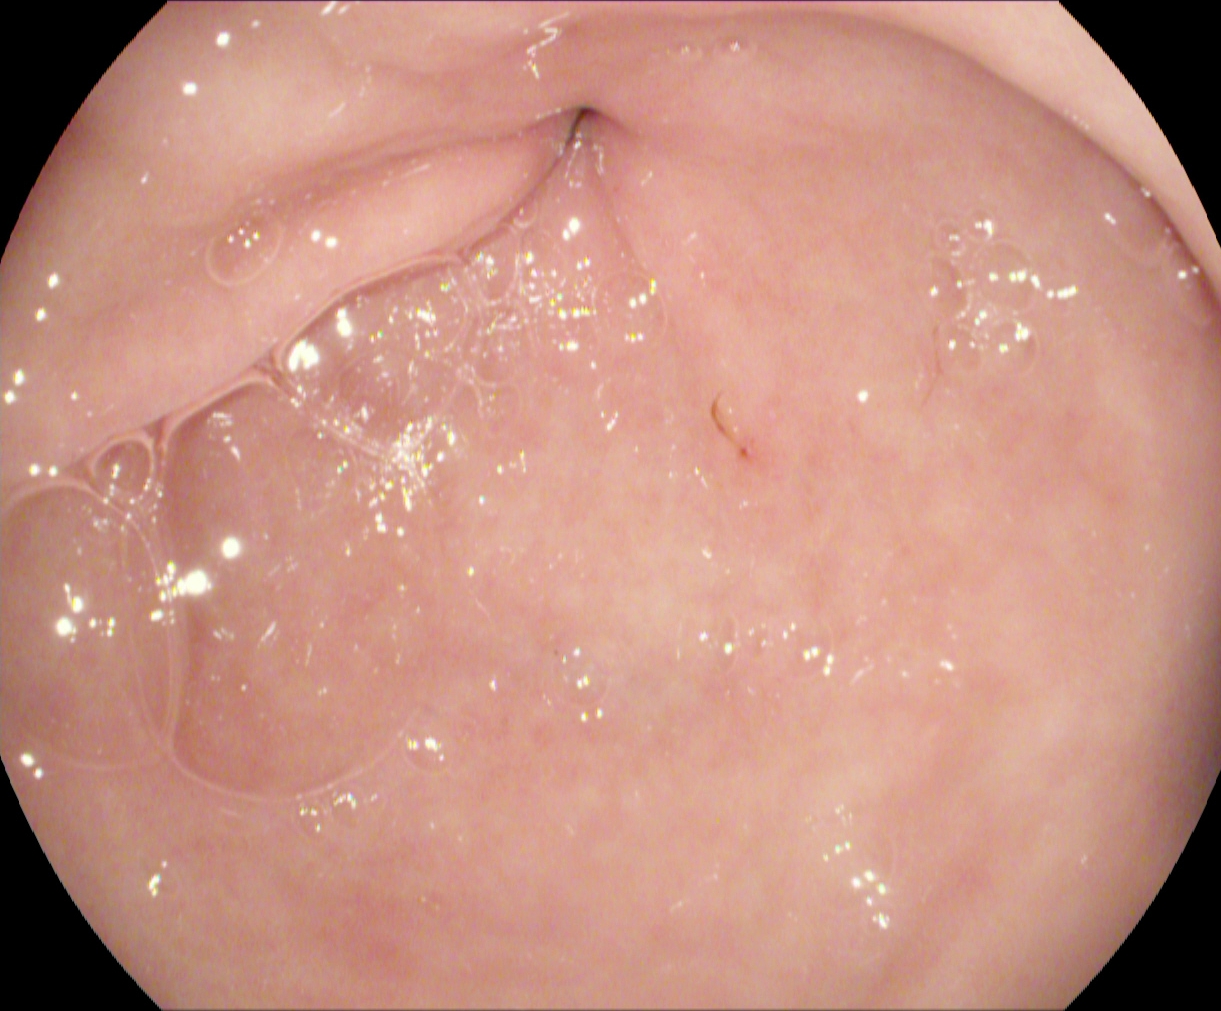modality: EGD
category: anatomical landmark
finding: pylorus